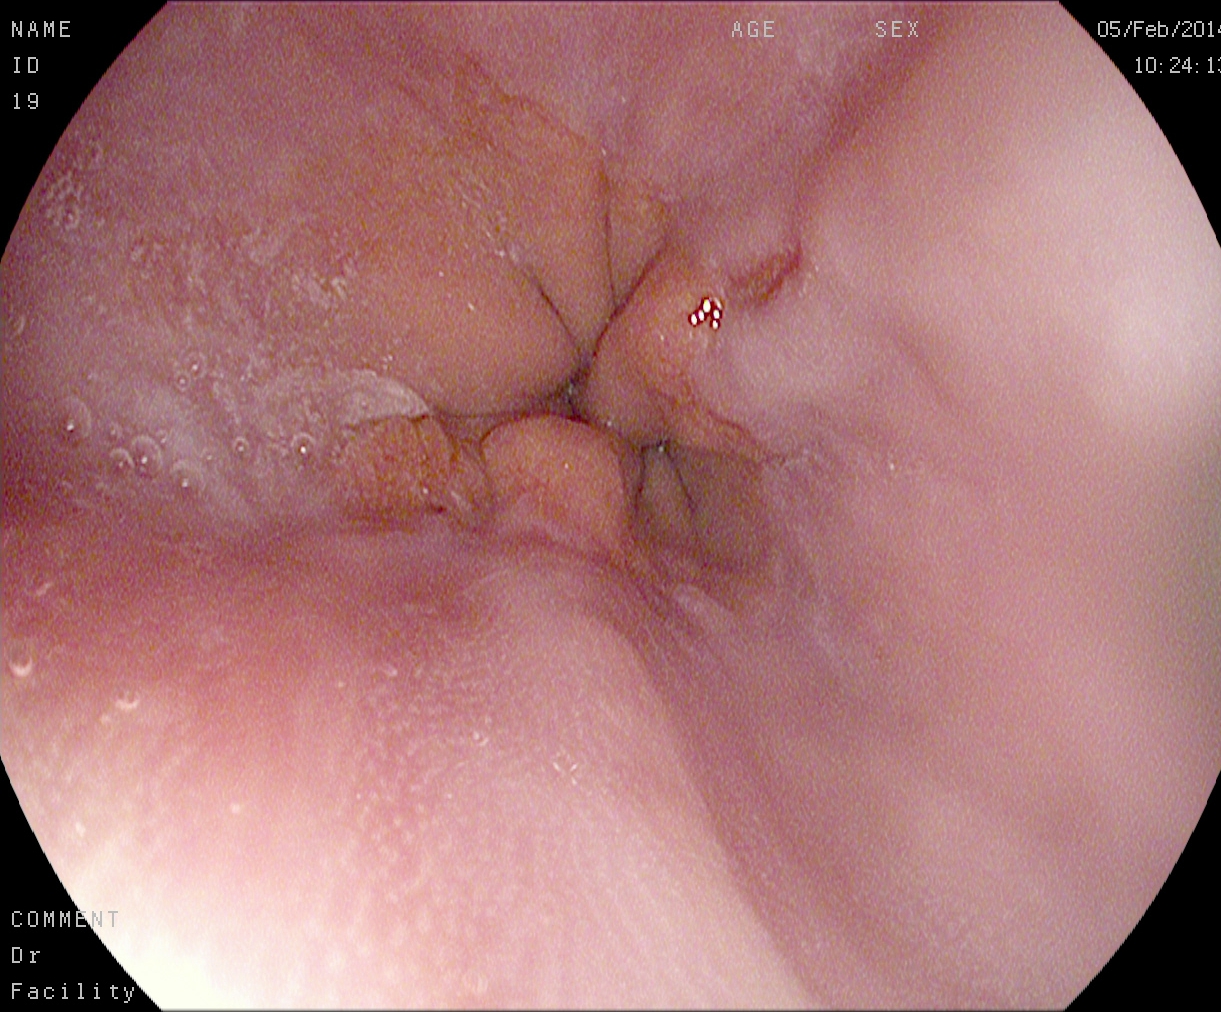modality: EGD
category: pathological finding
finding: reflux esophagitis, Los Angeles grade A